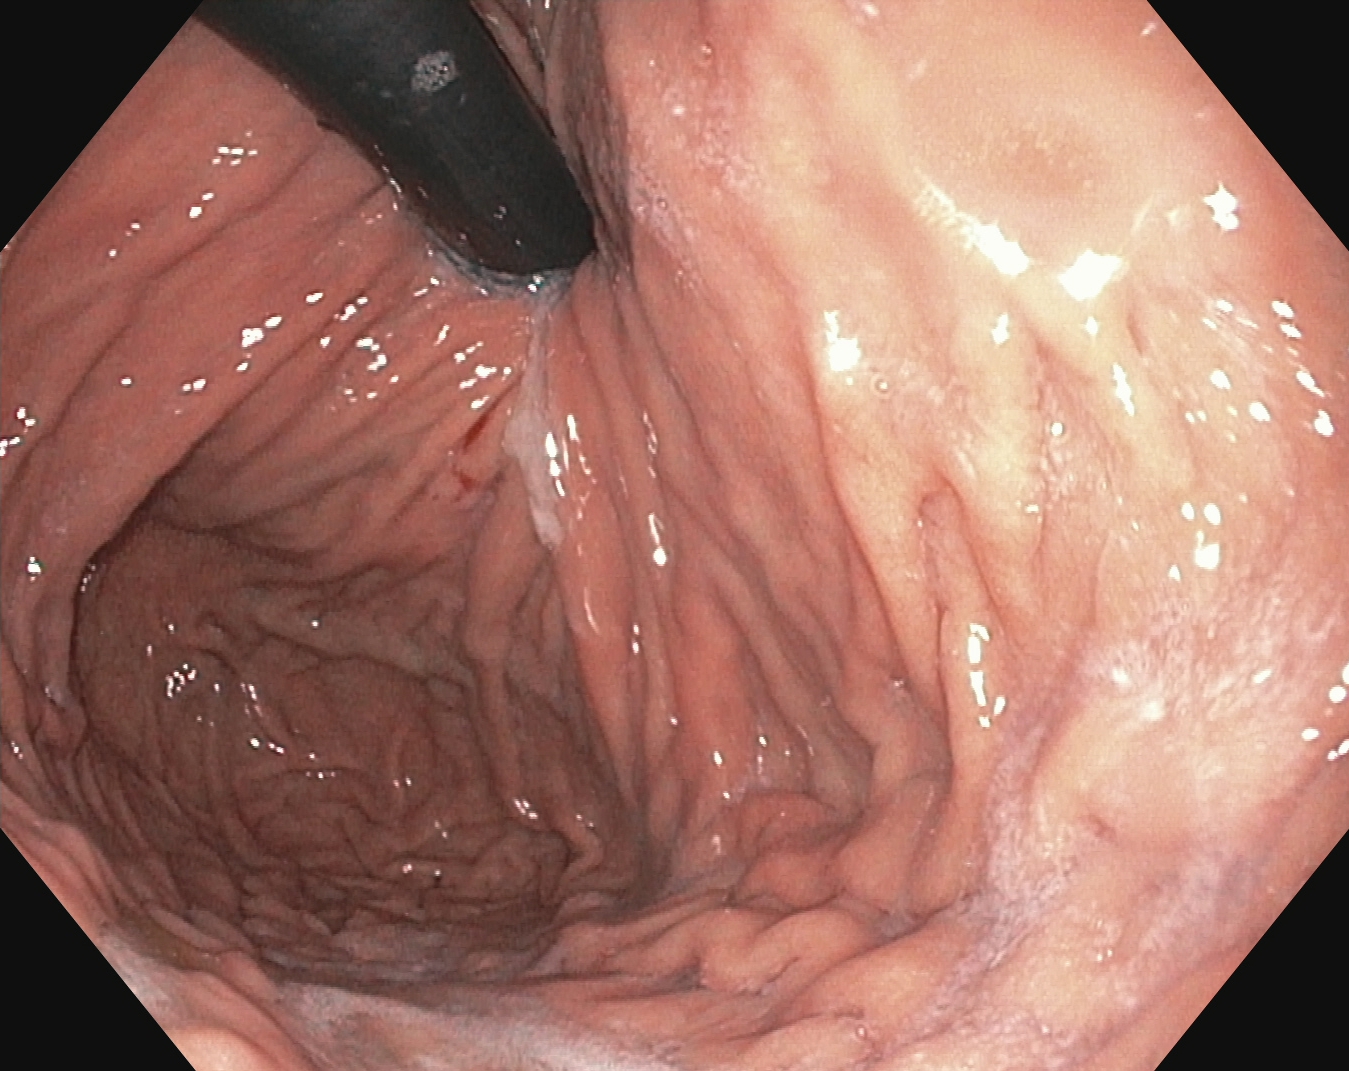{"modality": "esophagogastroduodenoscopy", "tract": "upper GI tract", "category": "anatomical landmark", "finding": "stomach in retroflexion"}